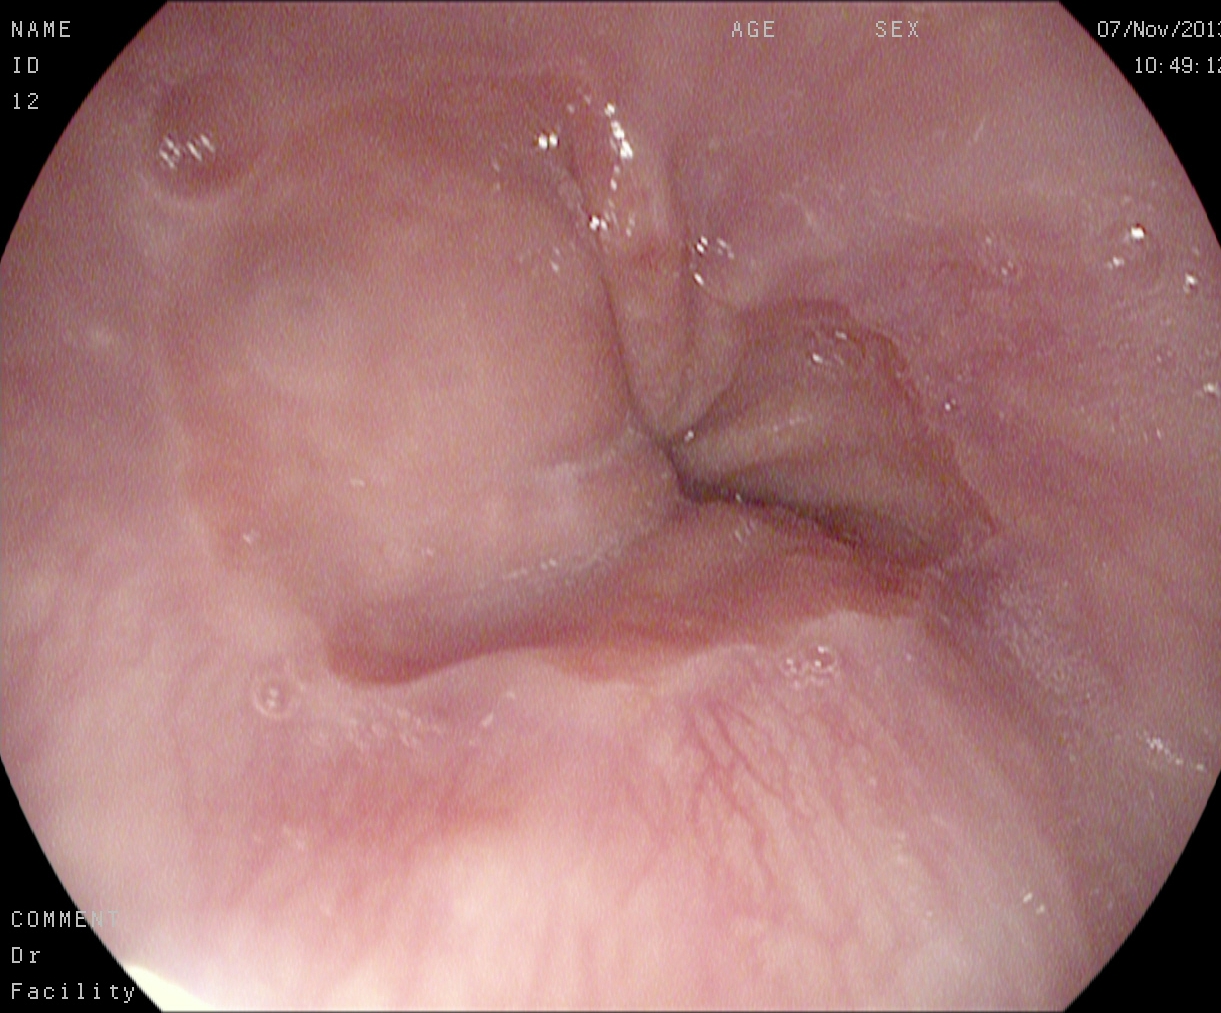Gastroscopy — Z-line (gastroesophageal junction).